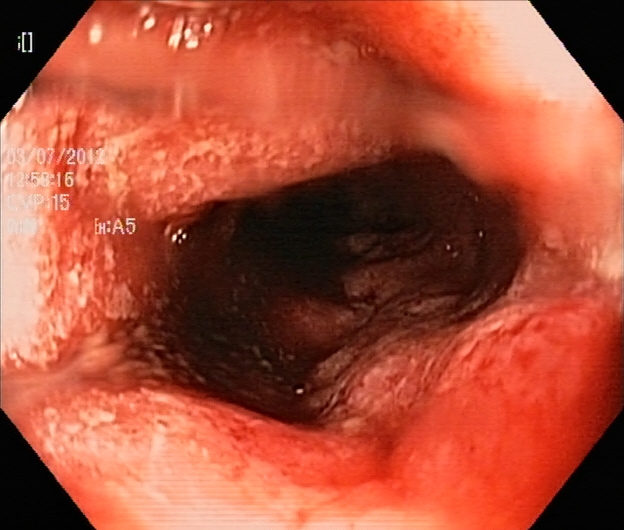modality: colonoscopy
category: pathological finding
finding: UC, Mayo endoscopic subscore 3